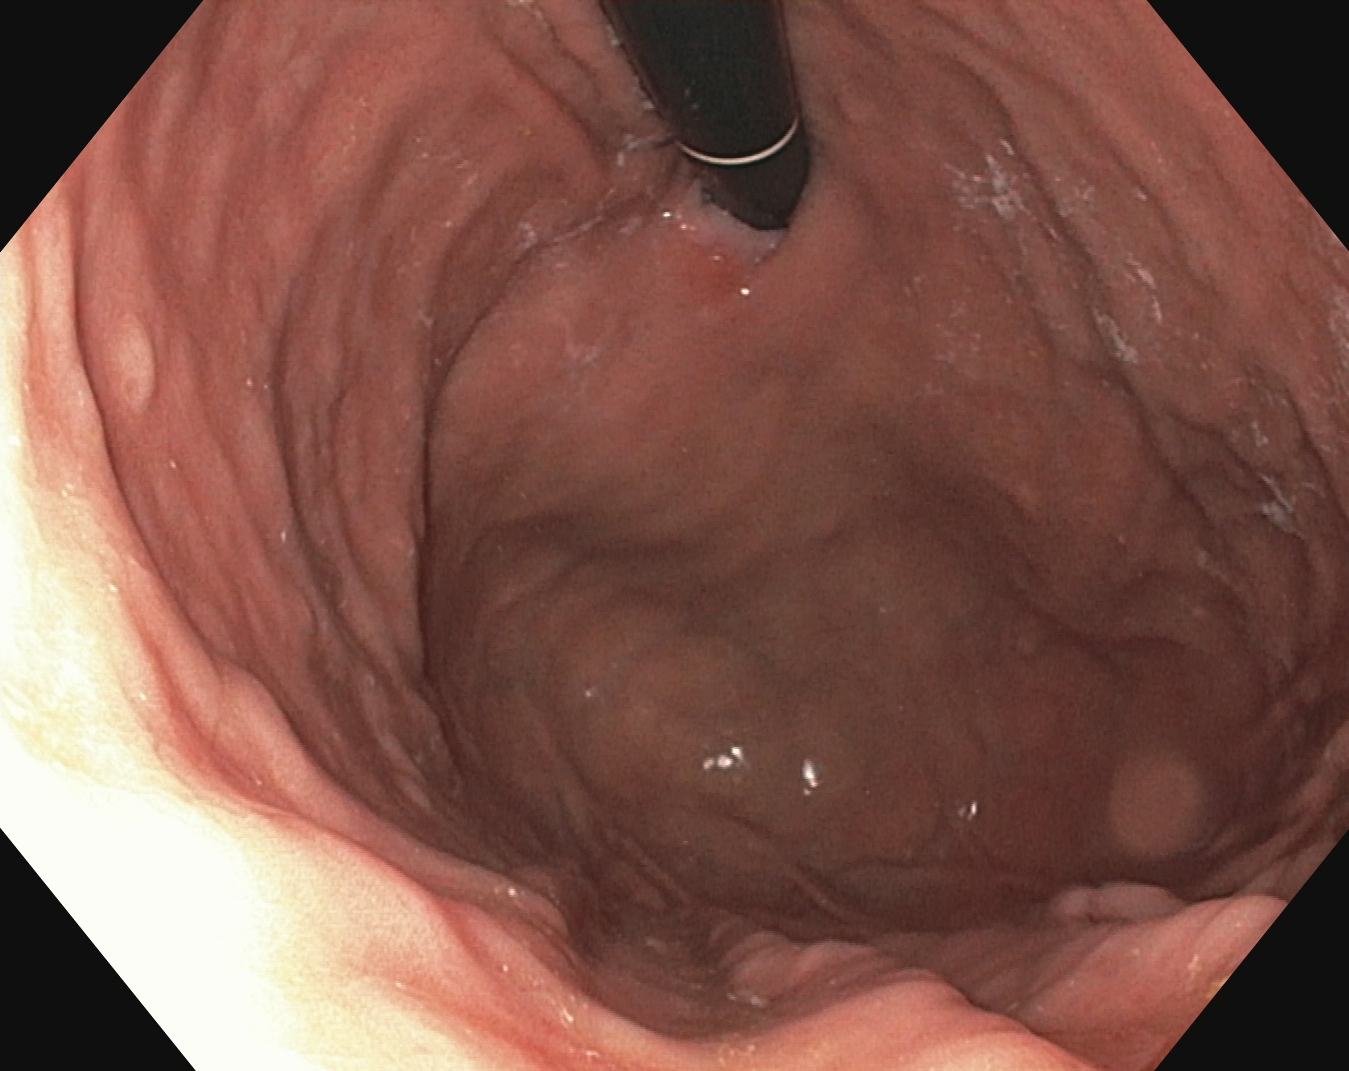modality: esophagogastroduodenoscopy | category: anatomical landmark | finding: stomach in retroflexion